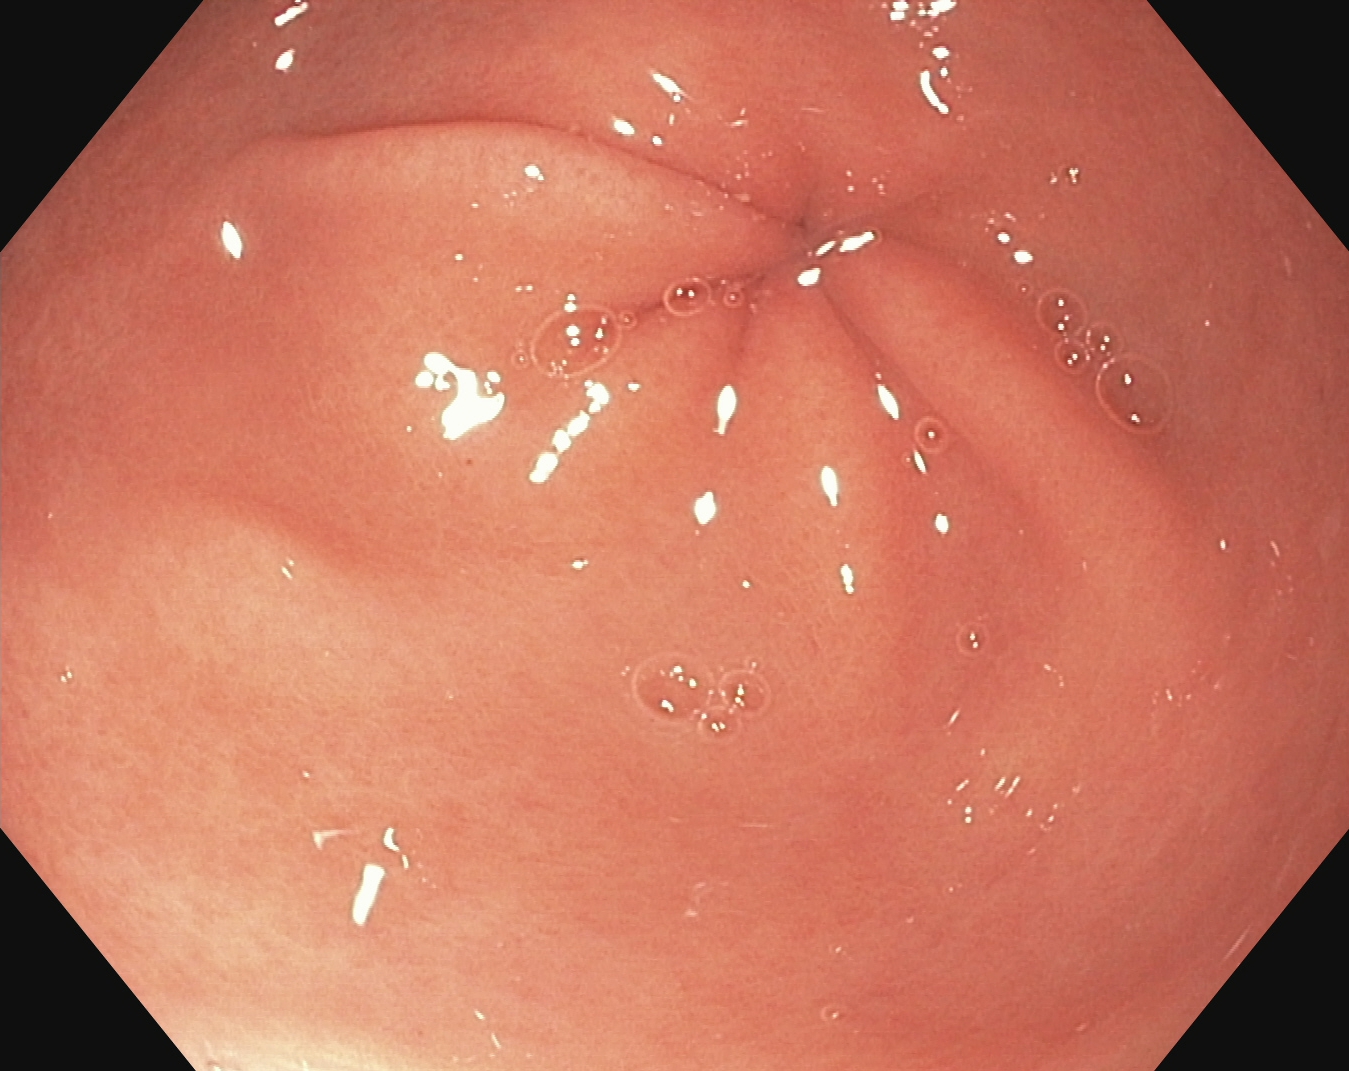PROCEDURE: Gastroscopy.
CATEGORY: Anatomical landmark.
FINDINGS: Pylorus.